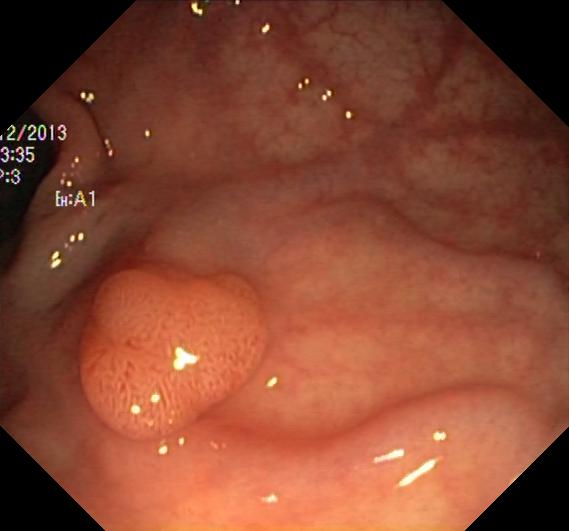Gastrointestinal endoscopy image of the lower GI tract showing colorectal polyp(s).